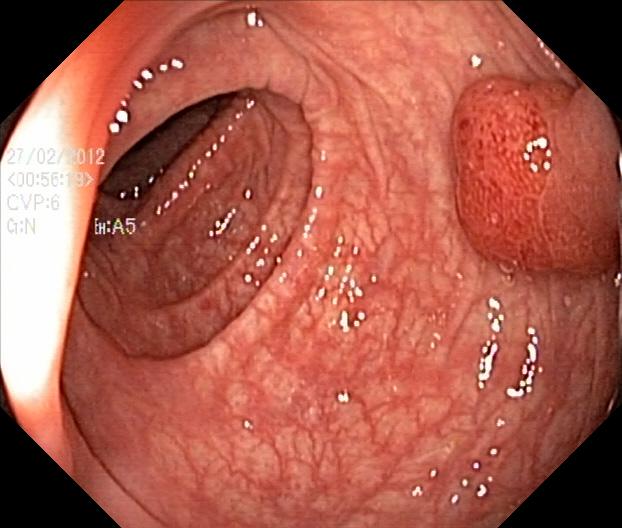Lower-GI endoscopy. Tract: lower GI tract. Finding: colorectal polyp(s).